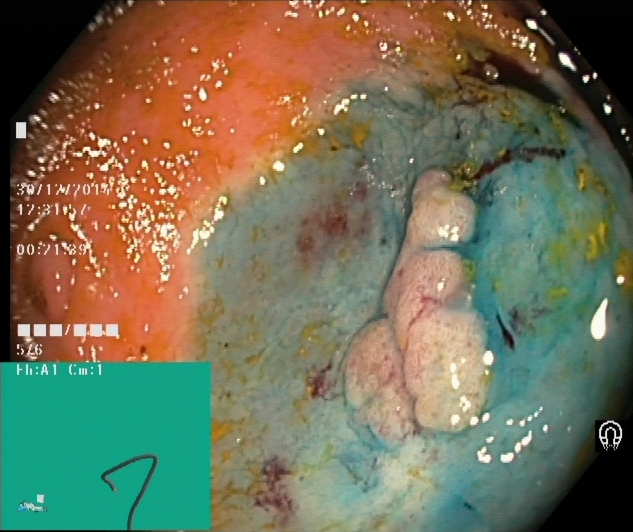modality: lower gastrointestinal endoscopy
tract: lower GI tract
finding: dyed and lifted polyp (pre-resection)